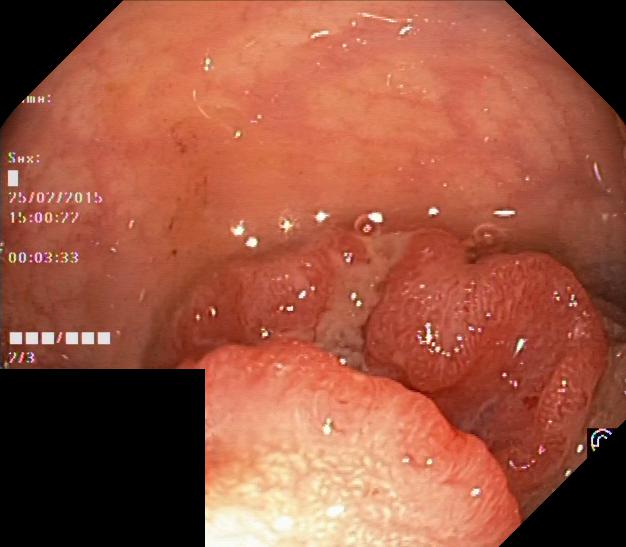This endoscopic image shows colorectal polyp(s).